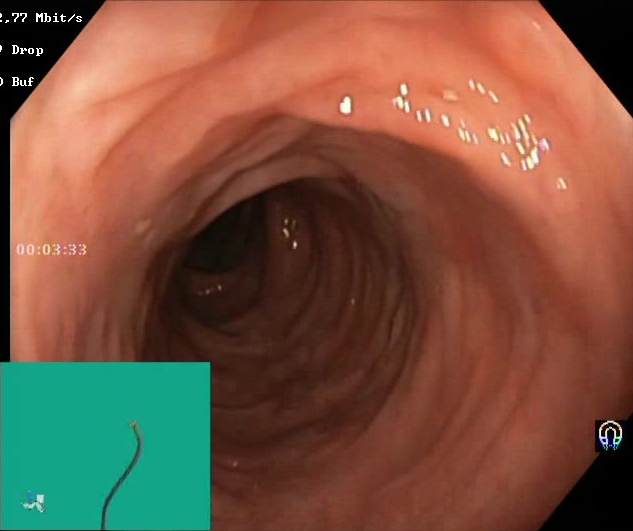Lower gastrointestinal endoscopy — BBPS score 2–3 (adequate preparation).